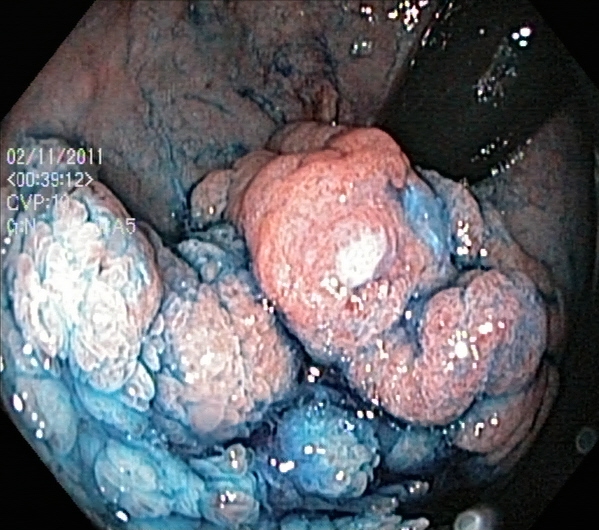dyed and lifted polyp (pre-resection).